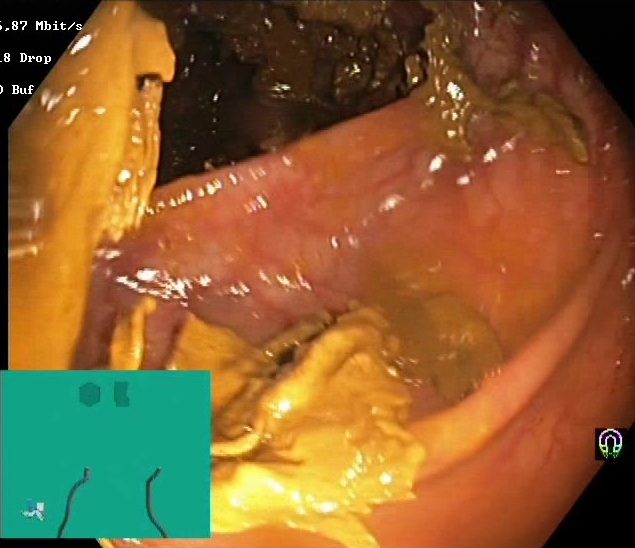Lower gastrointestinal endoscopy. Finding: BBPS score 0–1 (inadequate preparation).